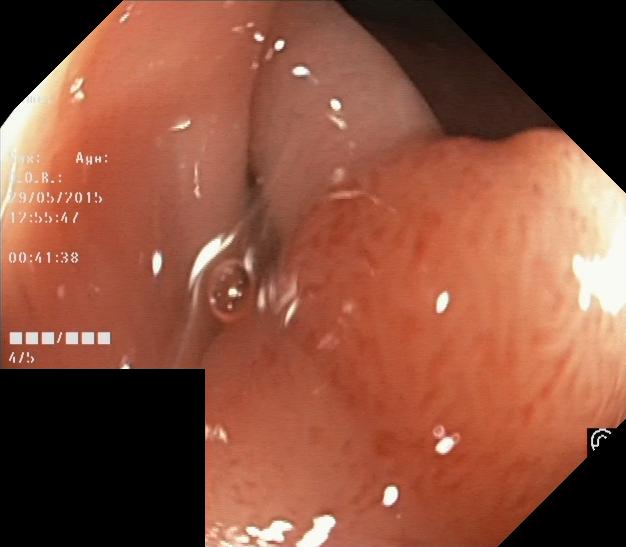Colorectal polyp(s).